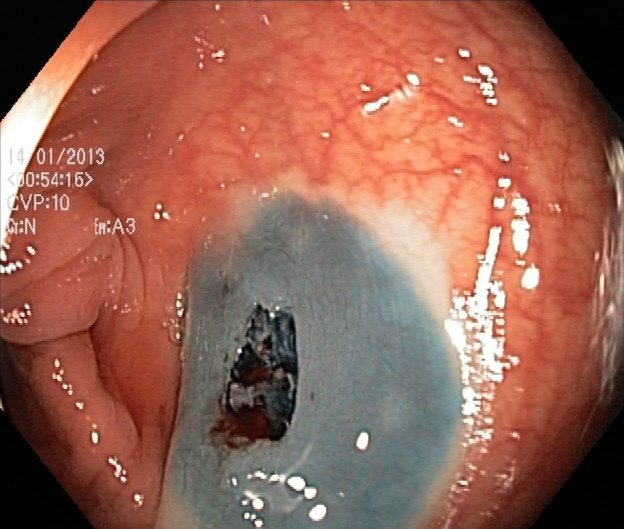This endoscopic image shows dyed resection margins (post-polypectomy).